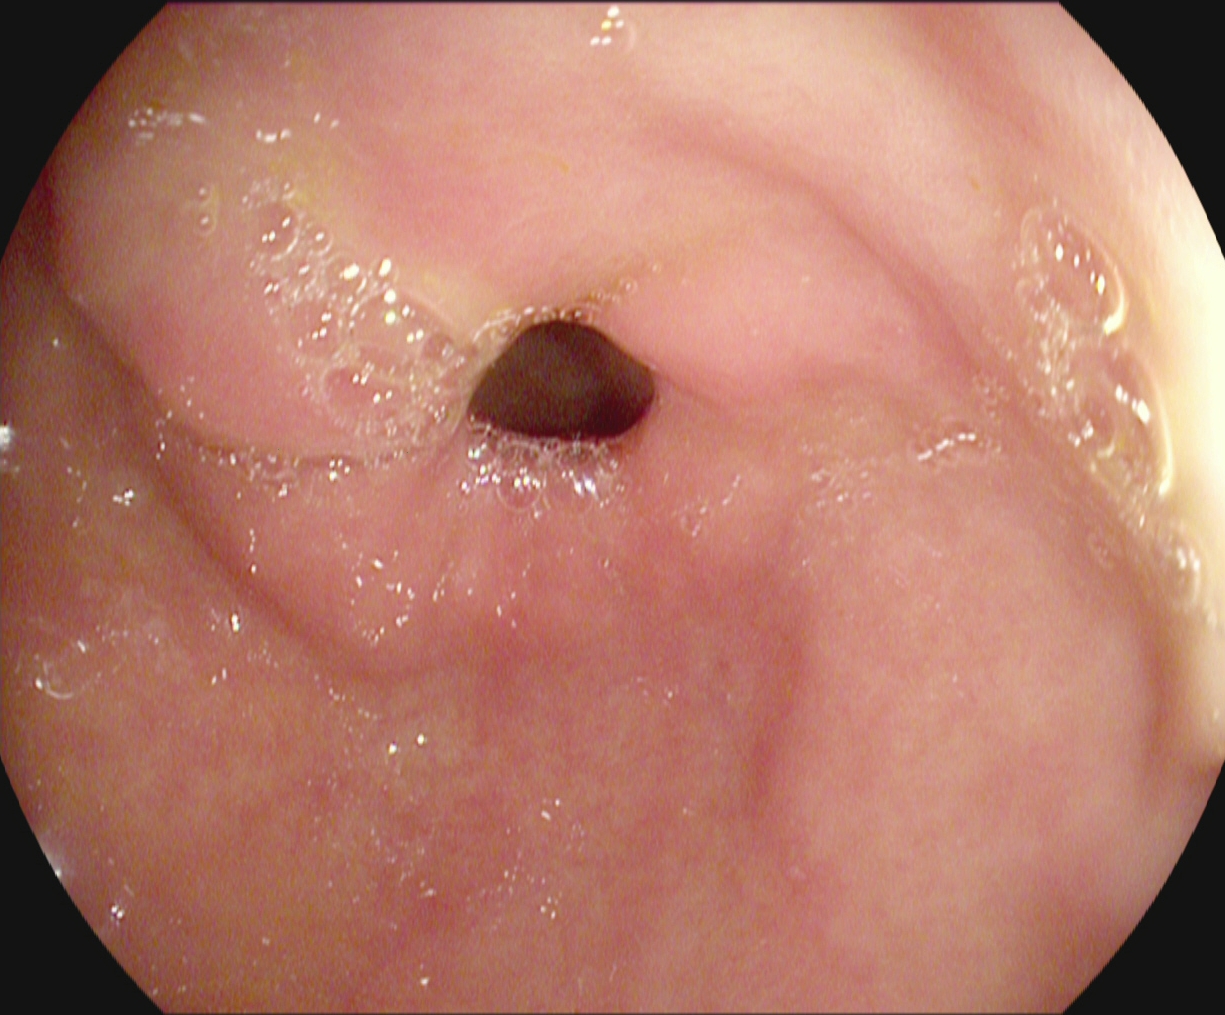GI endoscopy image showing pylorus.